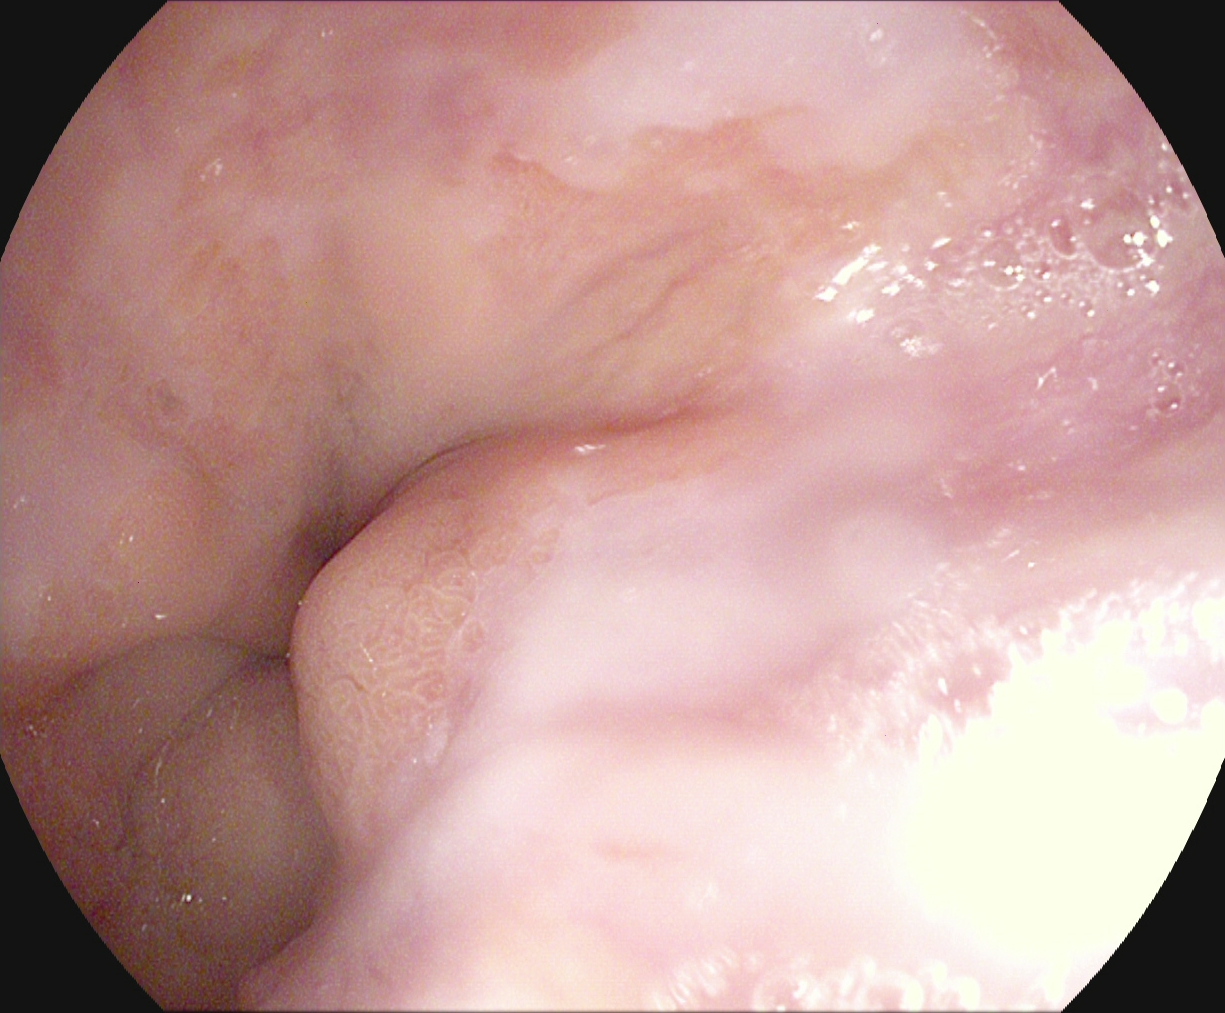{"modality": "EGD", "category": "anatomical landmark", "finding": "Z-line (gastroesophageal junction)"}